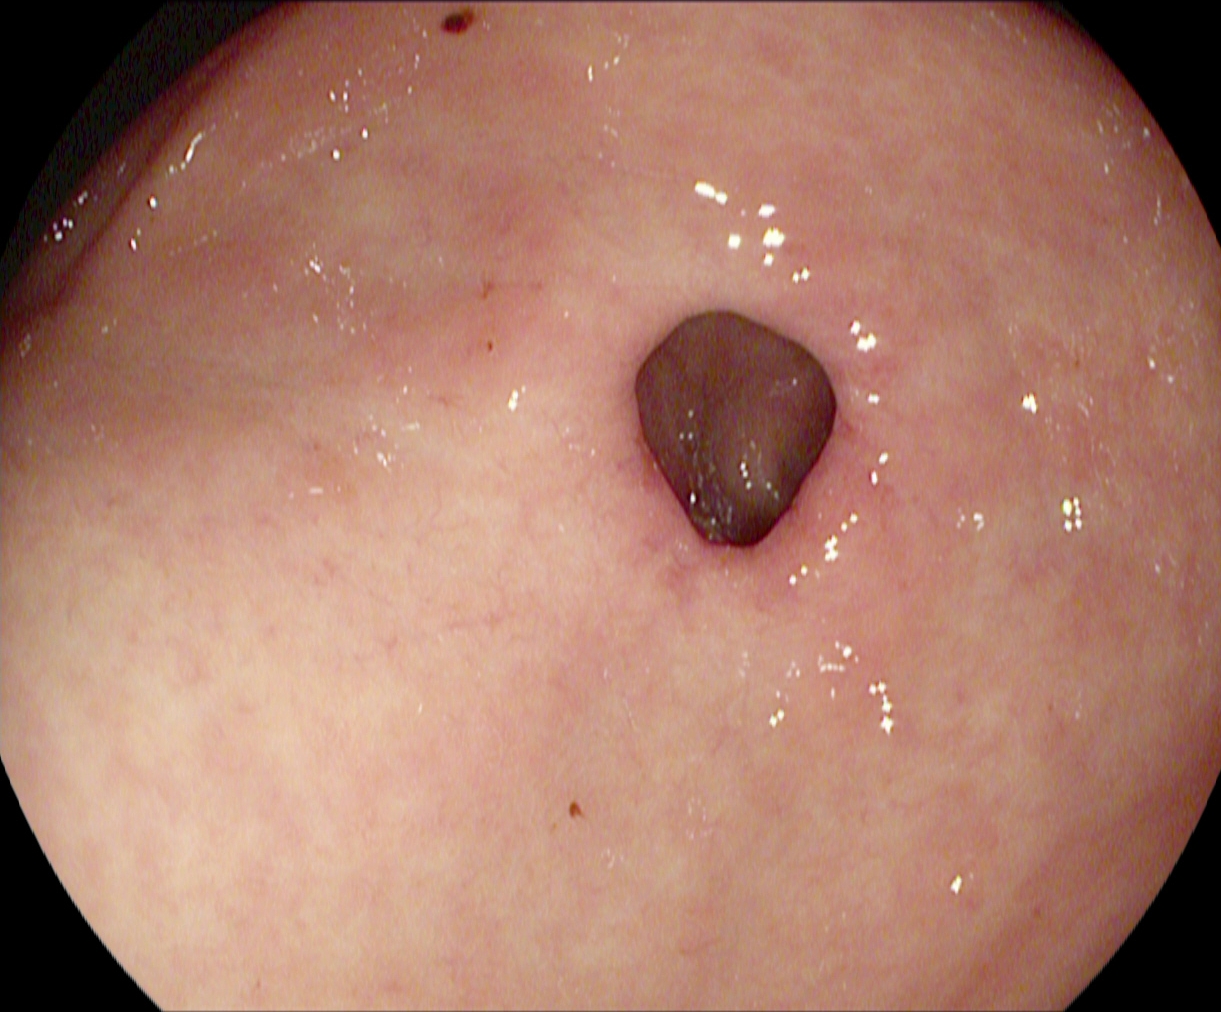modality: upper-GI endoscopy; tract: upper GI tract; category: anatomical landmark; finding: pylorus